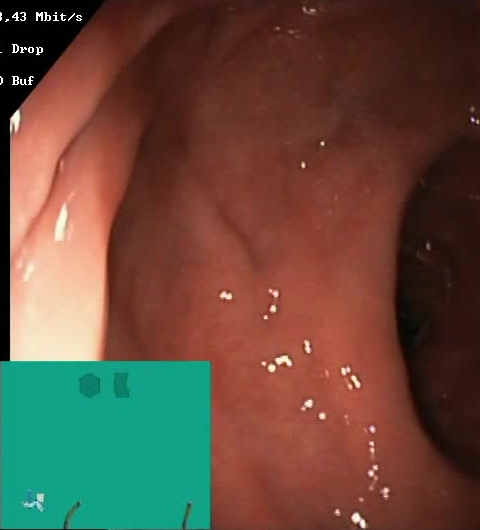Boston Bowel Preparation Scale score 2–3 (adequate preparation).